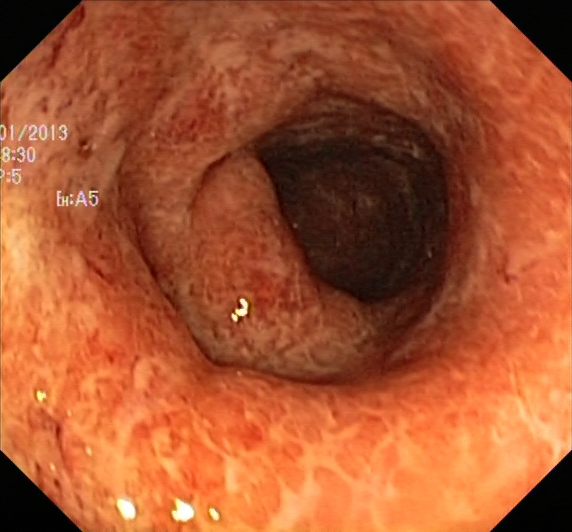PROCEDURE: Lower-GI endoscopy.
FINDINGS: UC, Mayo endoscopic subscore 2–3.